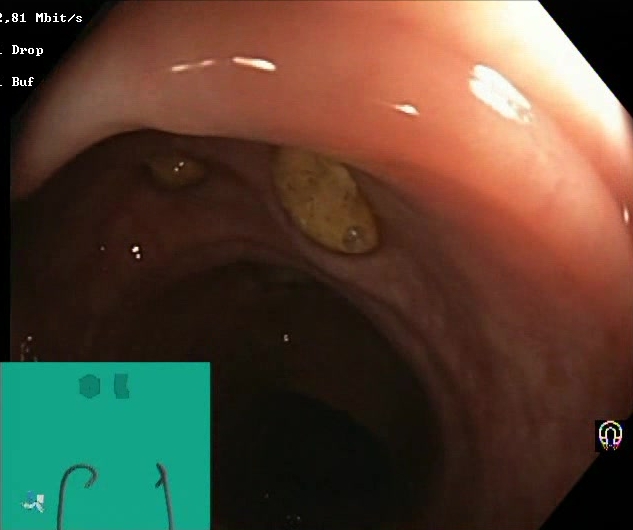Lower gastrointestinal endoscopy — impacted stool.